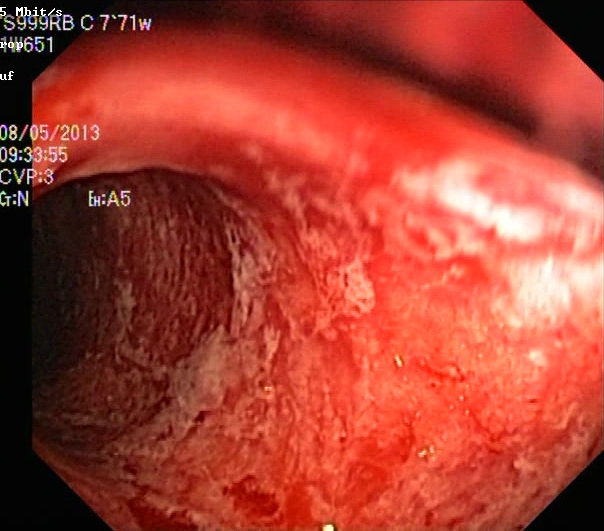Endoscopic frame showing ulcerative colitis, Mayo endoscopic subscore 3.